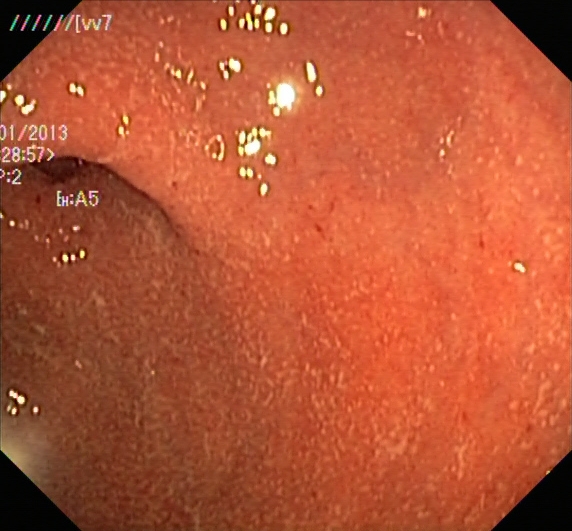Colonoscopy. Tract: lower GI tract. Finding: UC, Mayo endoscopic subscore 2.